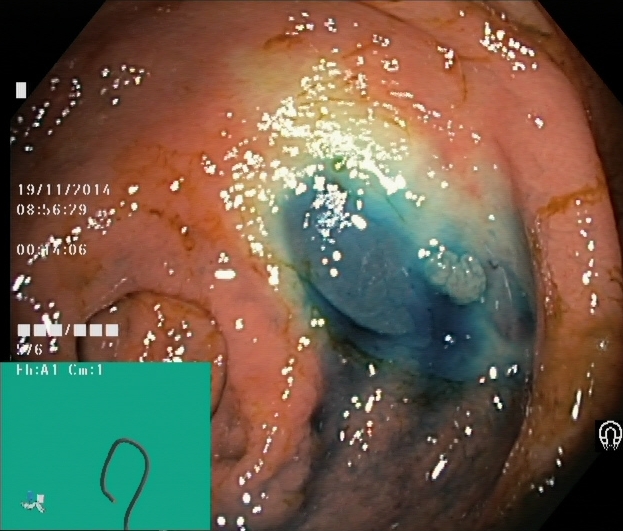Colonoscopy. Finding: dyed and lifted polyp (pre-resection).